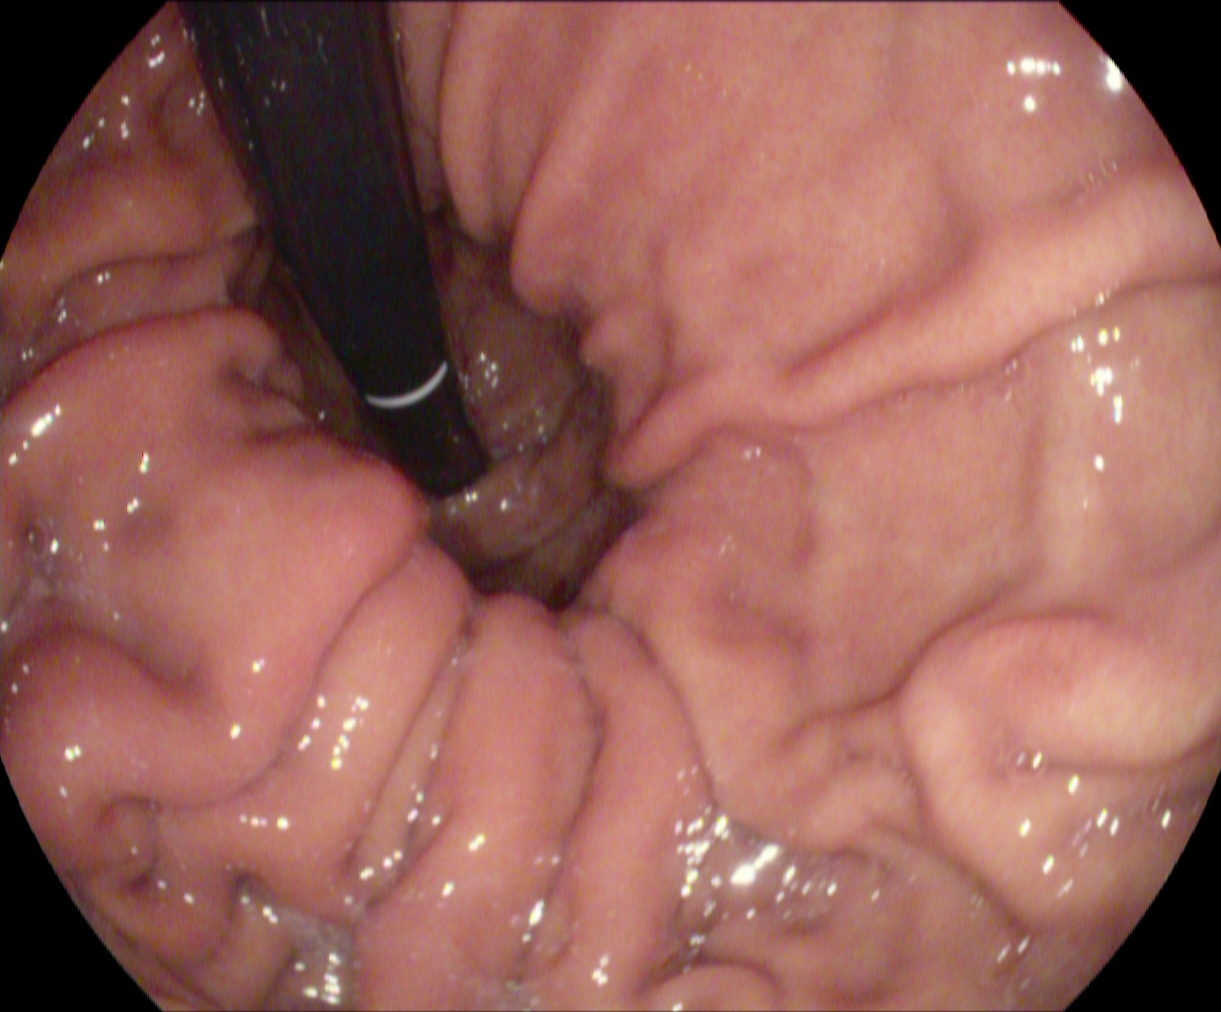{"modality": "EGD", "tract": "upper GI tract", "finding": "stomach in retroflexion"}